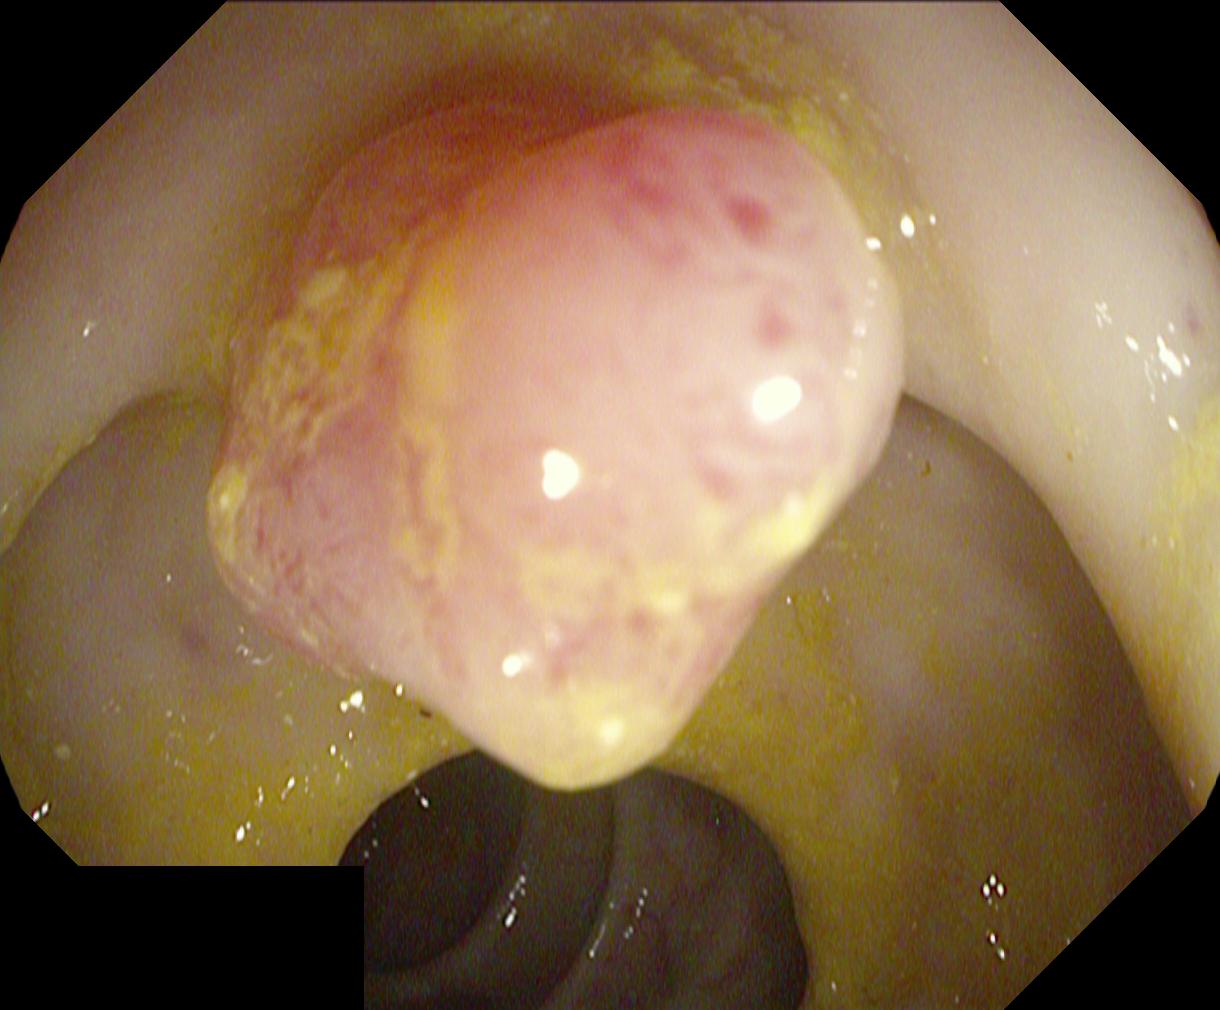Lower gastrointestinal endoscopy — colorectal polyp(s).